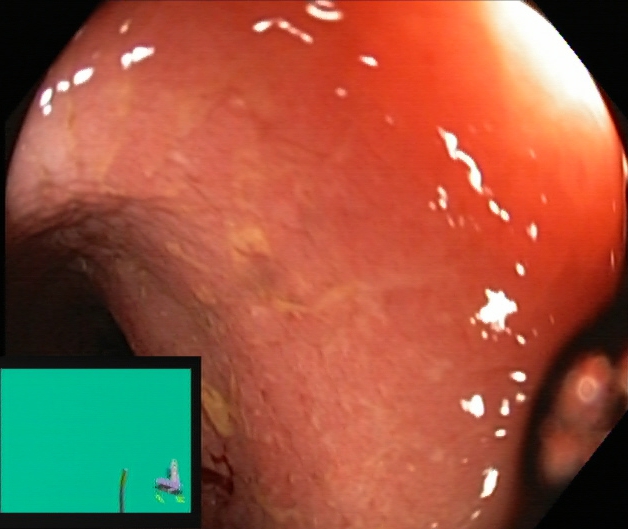UC, Mayo endoscopic subscore 2.